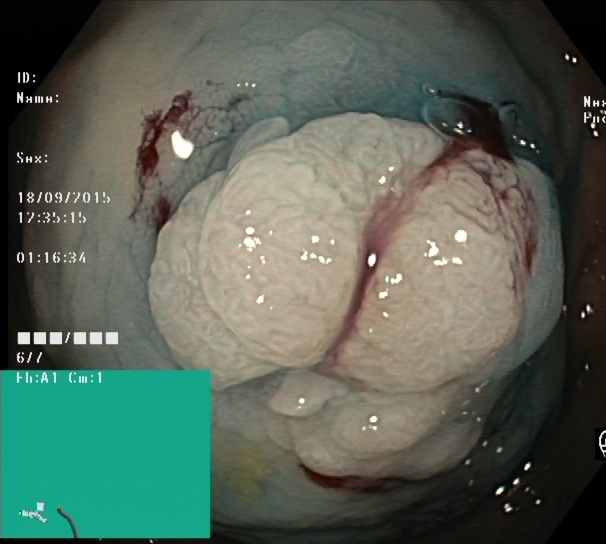PROCEDURE: Colonoscopy.
FINDINGS: Dyed and lifted polyp (pre-resection).